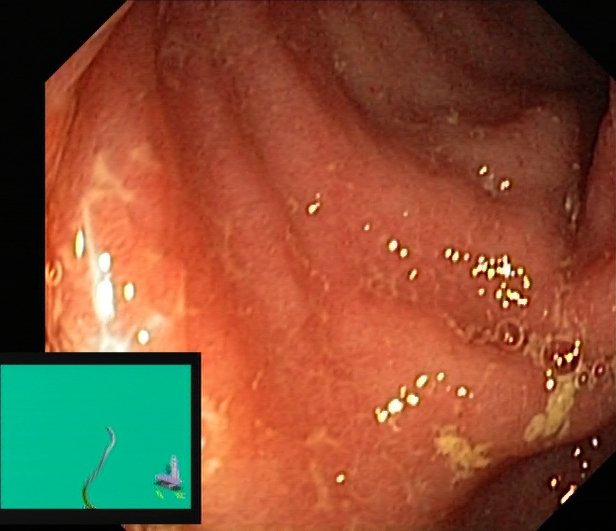Ulcerative colitis, Mayo endoscopic subscore 2.